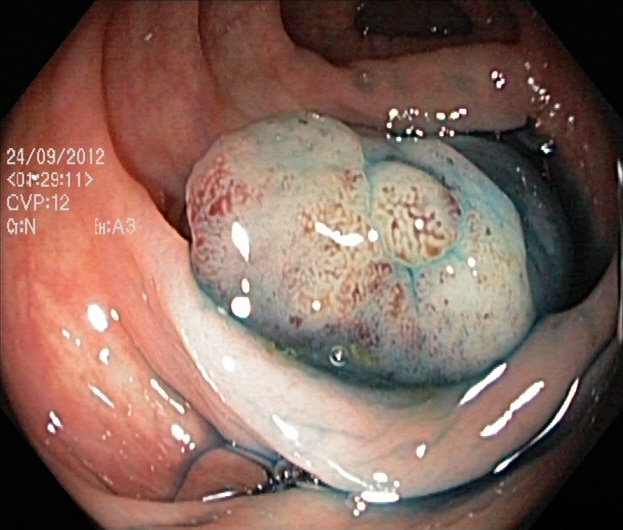Dyed and lifted polyp (pre-resection).